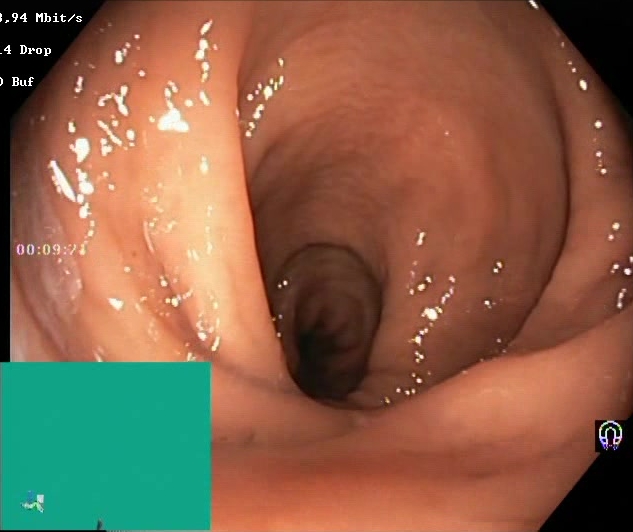modality: colonoscopy; category: mucosal-view quality; finding: Boston Bowel Preparation Scale score 2–3 (adequate preparation)